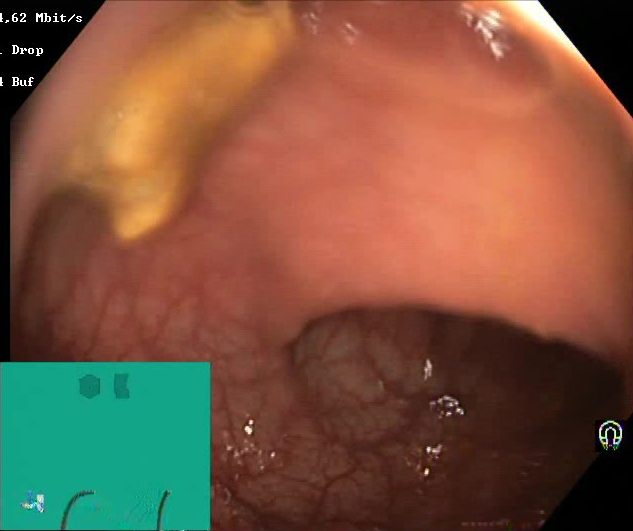{"modality": "lower-GI endoscopy", "tract": "lower GI tract", "finding": "Boston Bowel Preparation Scale score 2\u20133 (adequate preparation)"}